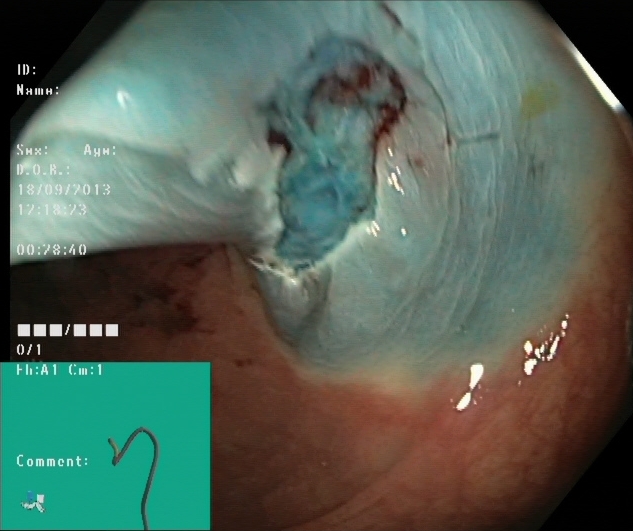Colonoscopy image showing dyed resection margins (post-polypectomy).